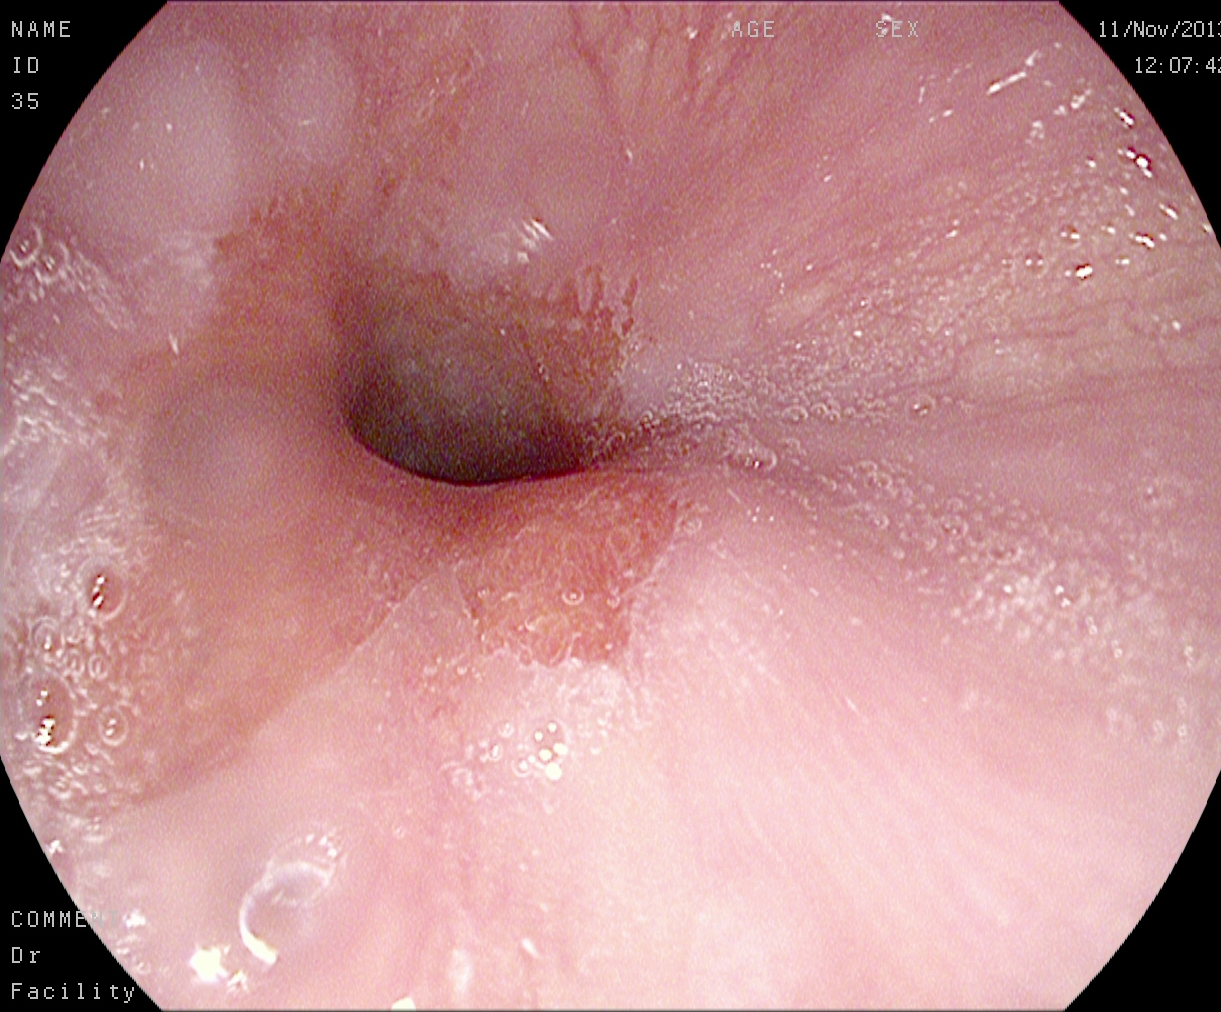Z-line (gastroesophageal junction).